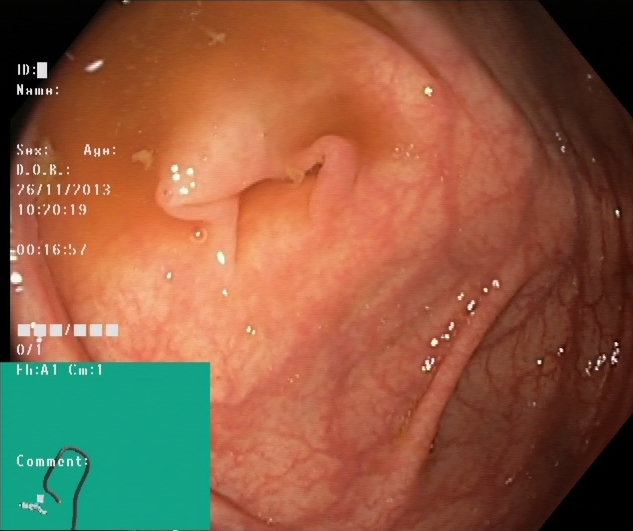This endoscopy frame of the lower GI tract shows cecum.